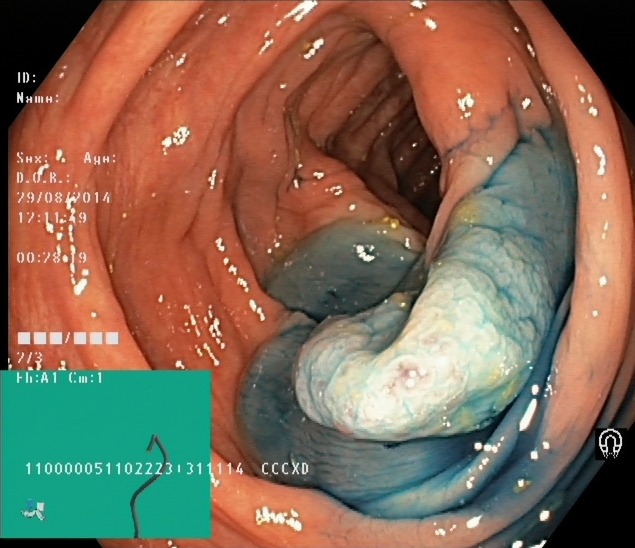Colonoscopy. Therapeutic intervention. Finding: dyed and lifted polyp (pre-resection).